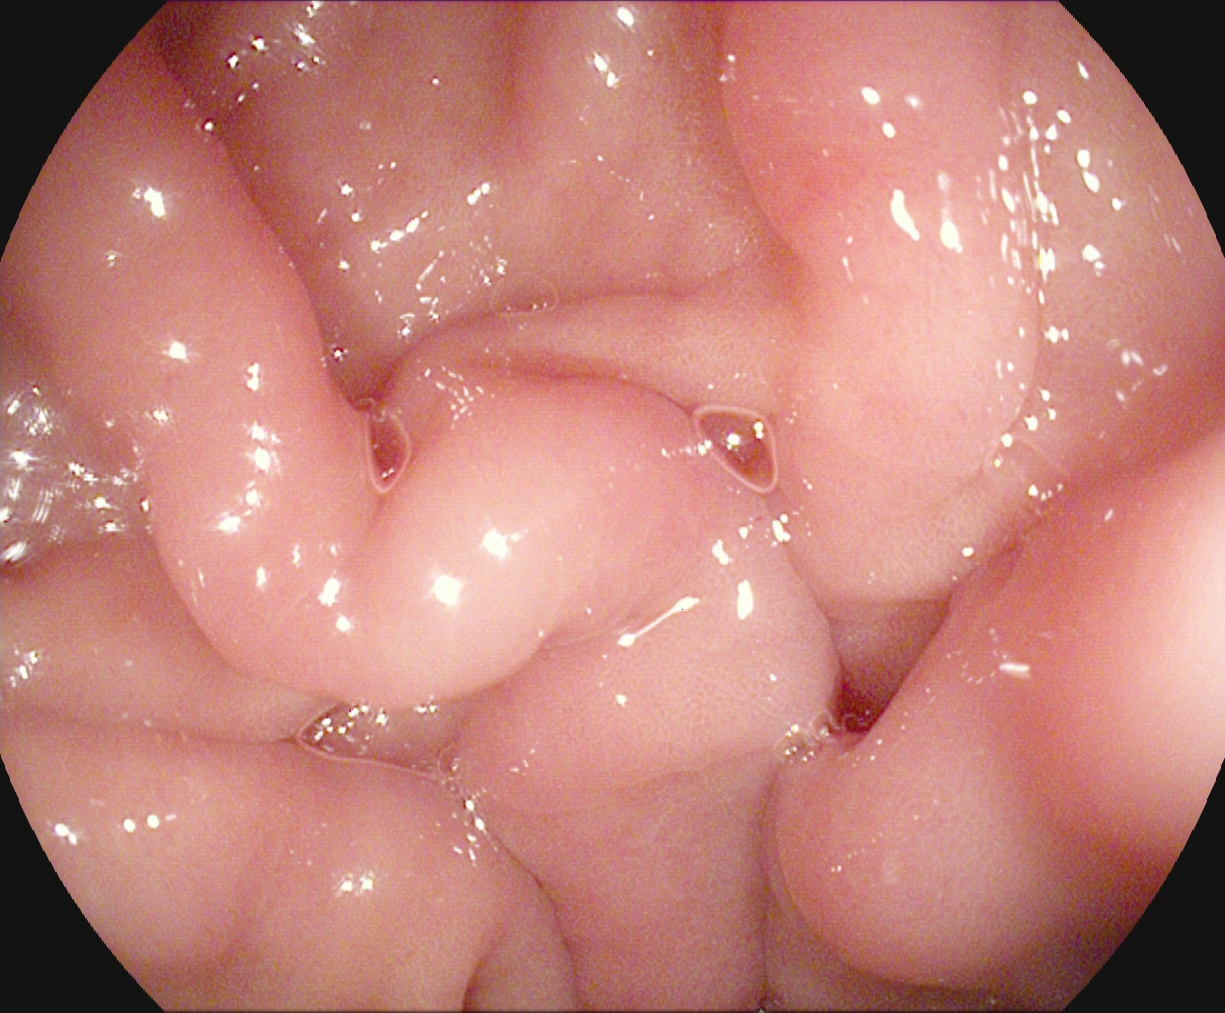{"modality": "esophagogastroduodenoscopy", "finding": "pylorus"}